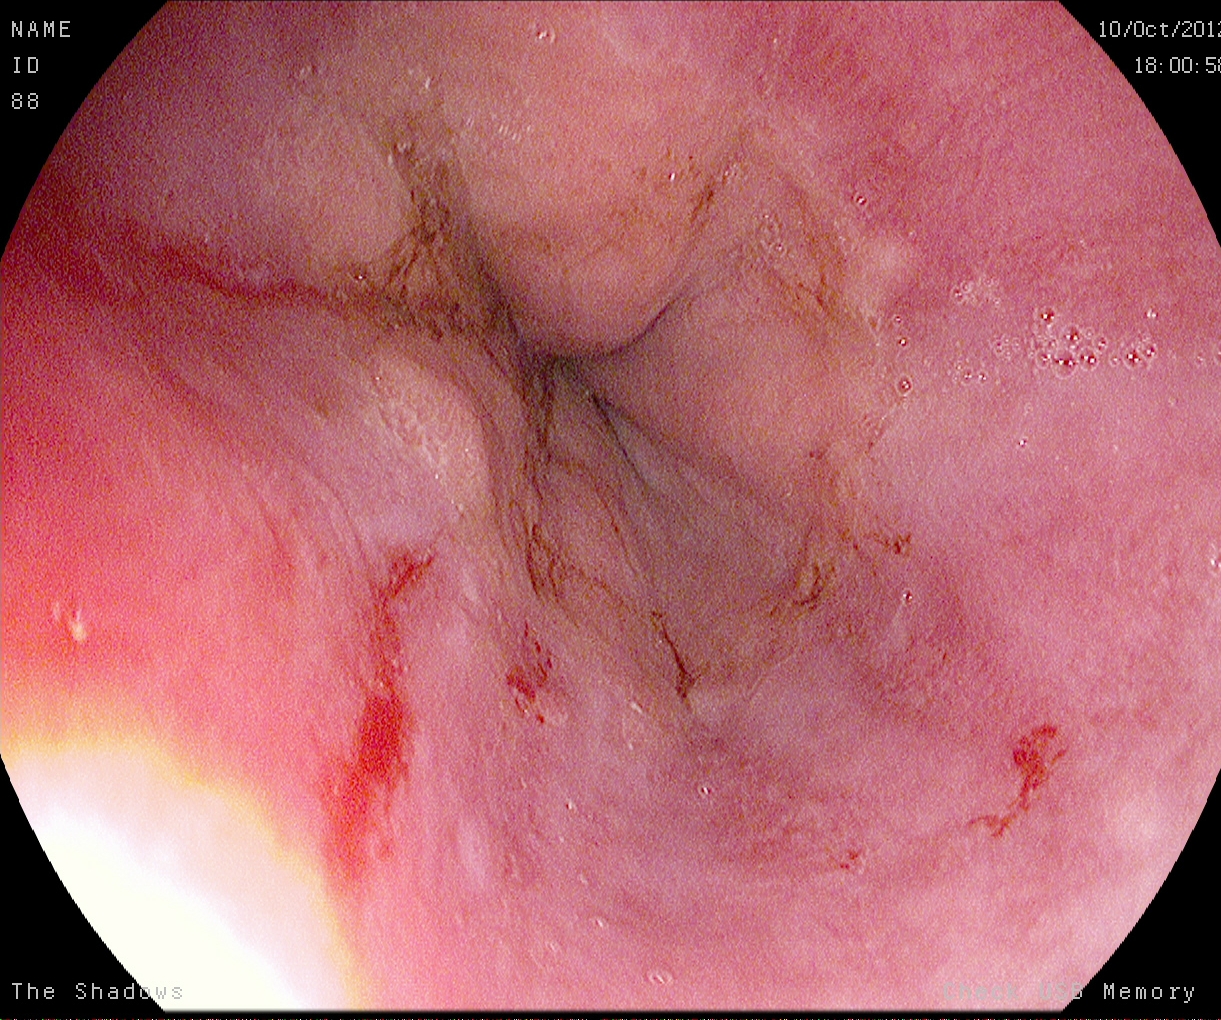reflux esophagitis, Los Angeles grade A.